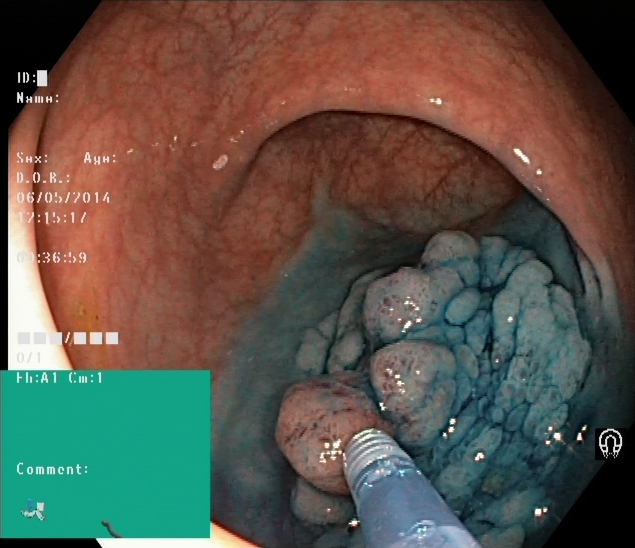PROCEDURE: Lower-GI endoscopy.
FINDINGS: Dyed and lifted polyp (pre-resection).